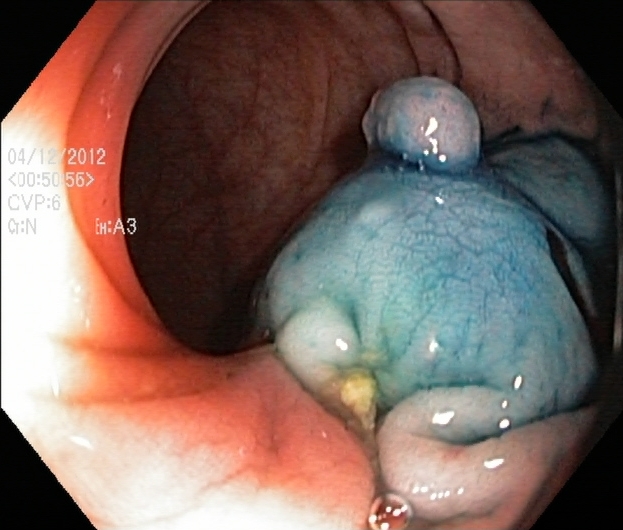Lower gastrointestinal endoscopy image showing dyed and lifted polyp (pre-resection).